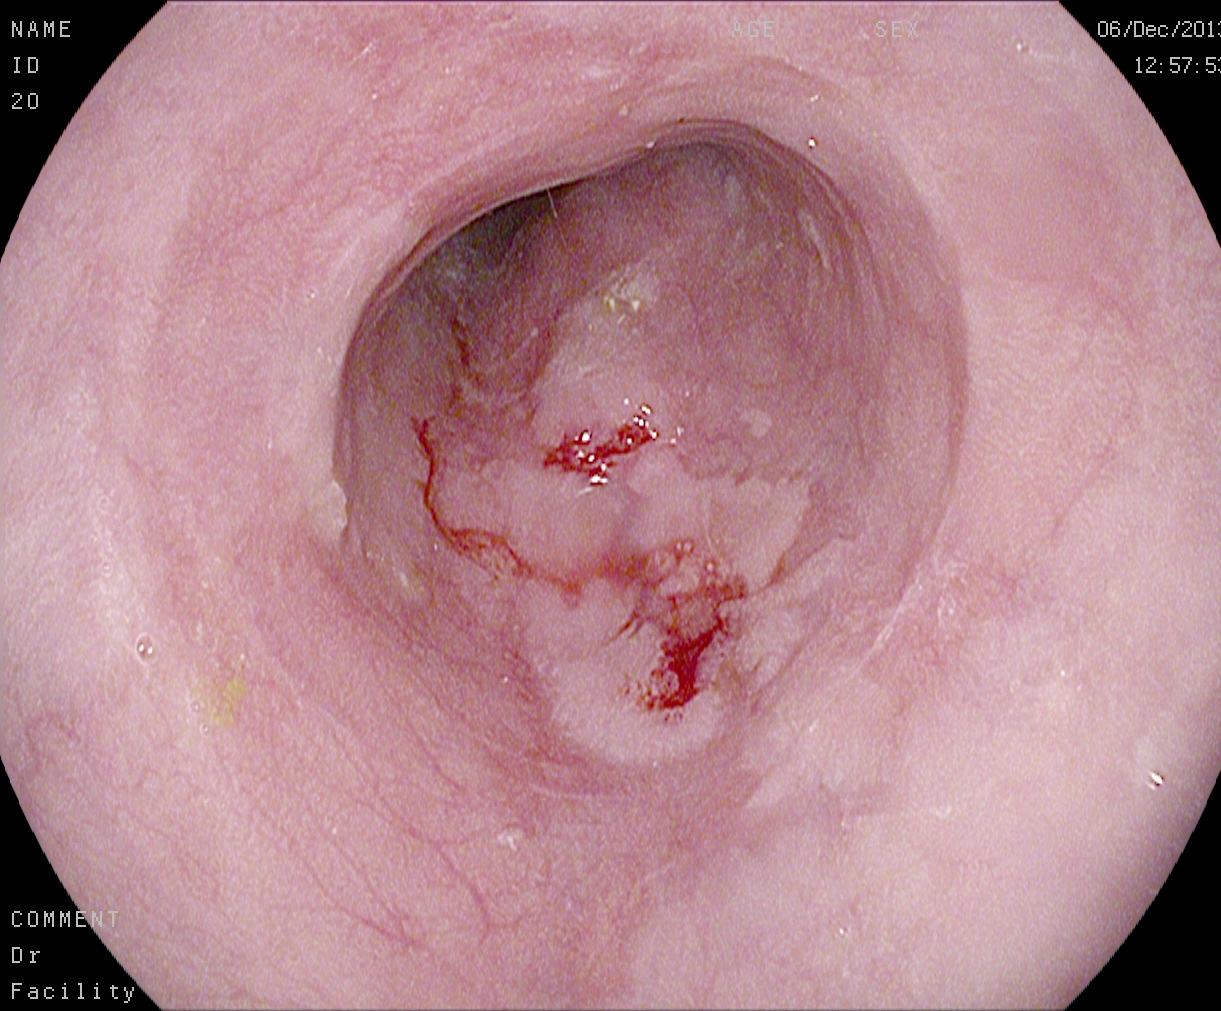PROCEDURE: Gastroscopy.
CATEGORY: Pathological finding.
FINDINGS: Reflux esophagitis, LA grade B–D.